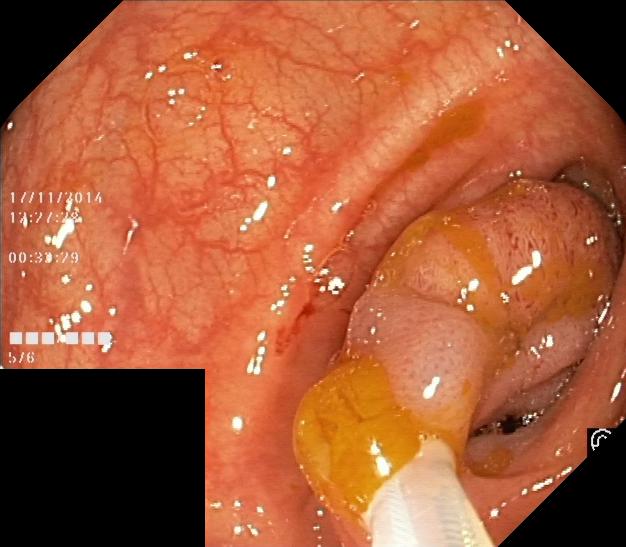modality: lower gastrointestinal endoscopy | tract: lower GI tract | finding: colorectal polyp(s)